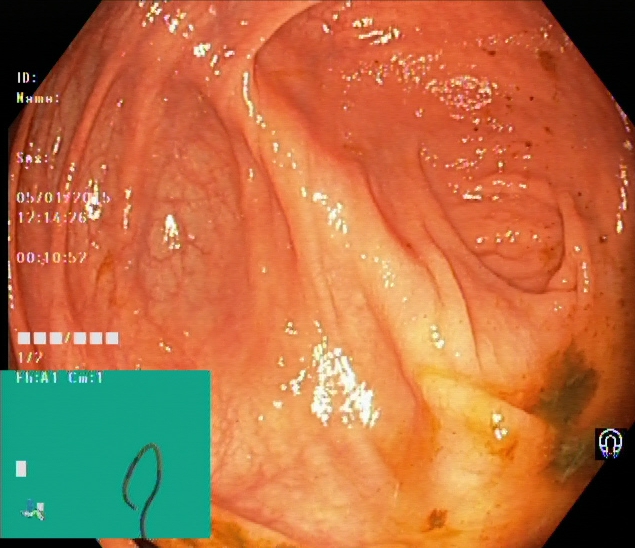Endoscopic image showing cecum.